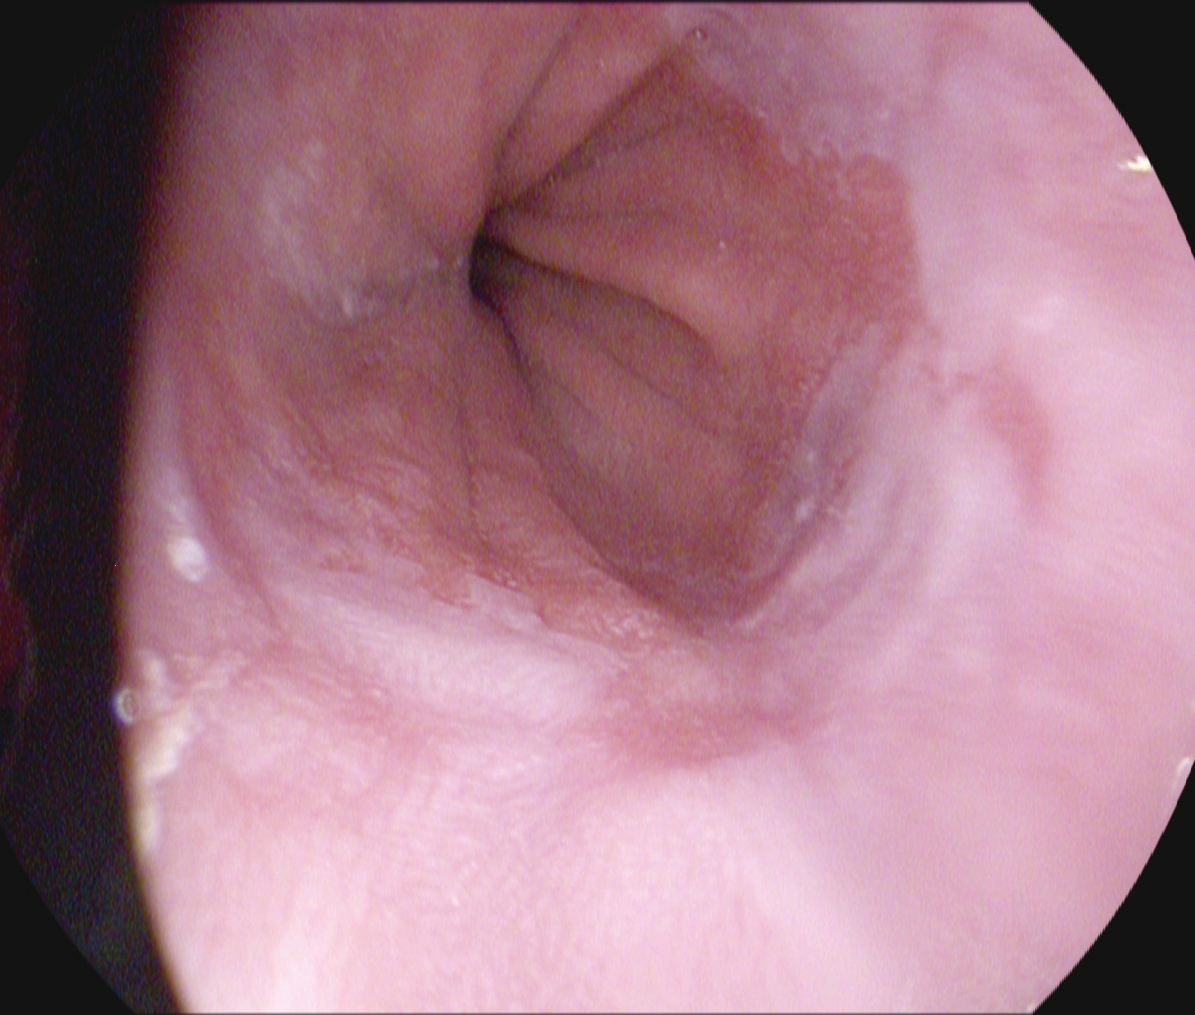Z-line (gastroesophageal junction).